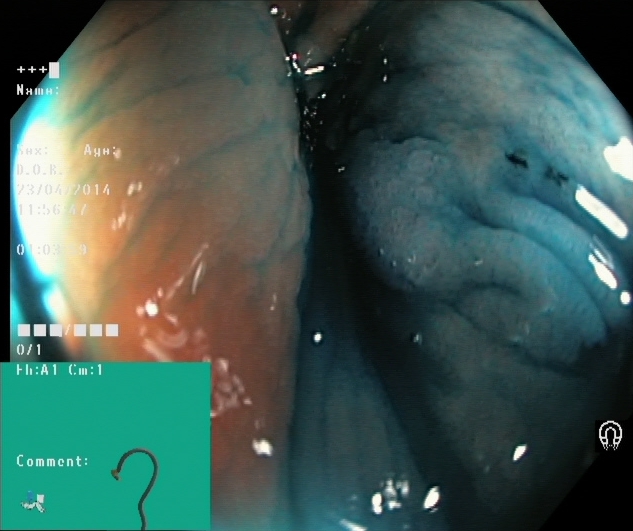{"modality": "lower gastrointestinal endoscopy", "category": "therapeutic intervention", "finding": "dyed and lifted polyp (pre-resection)"}